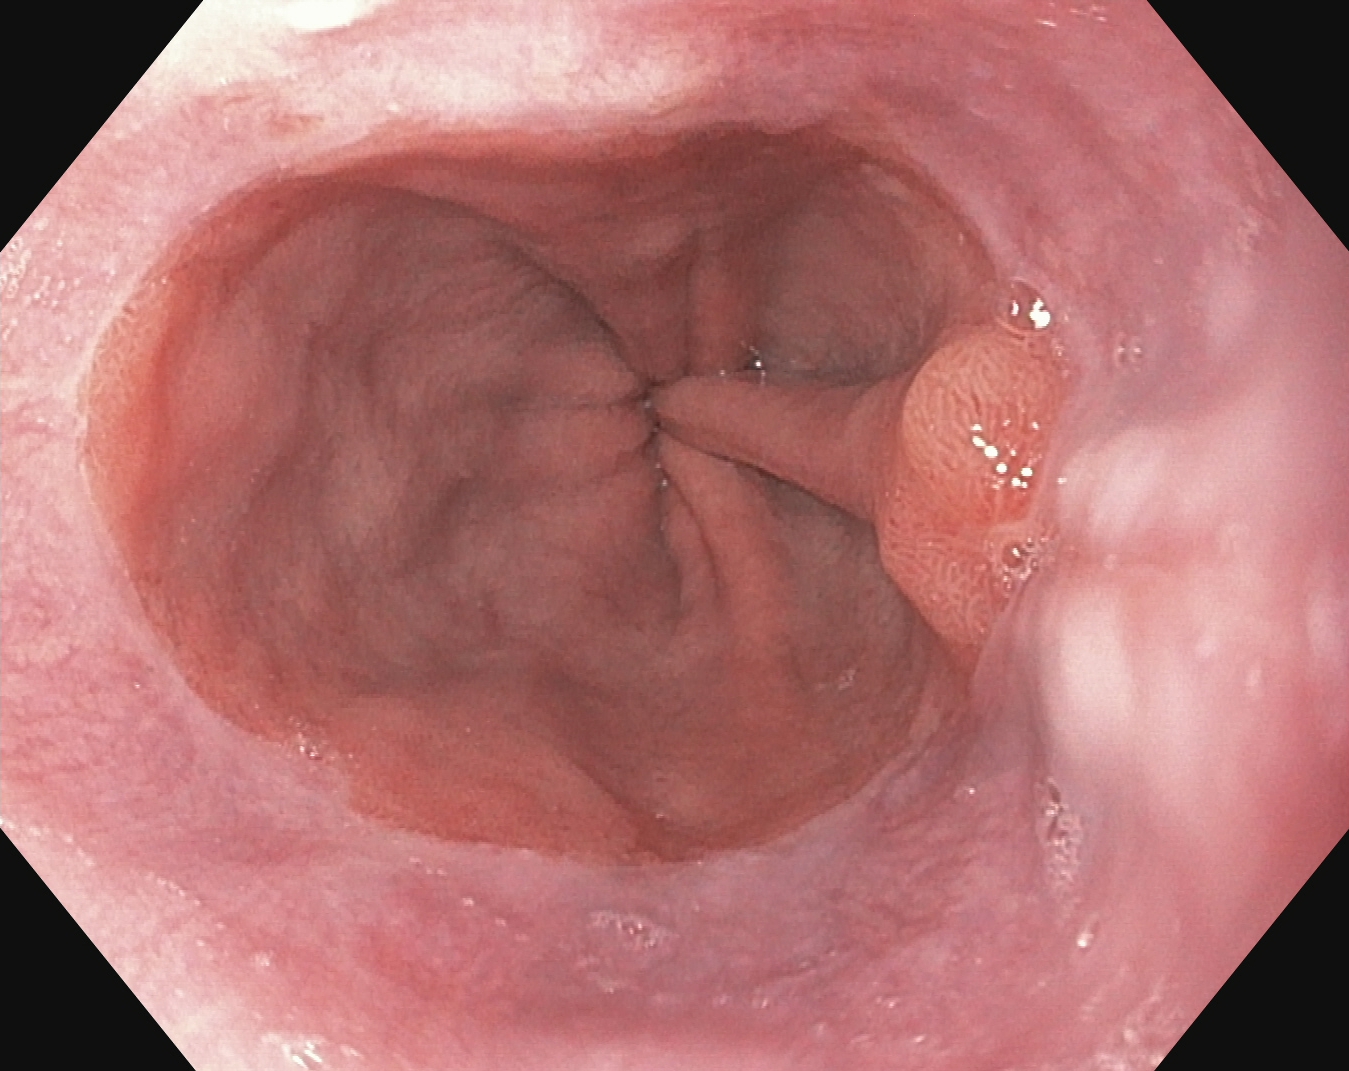This endoscopic image of the upper GI tract shows reflux esophagitis, LA grade A.